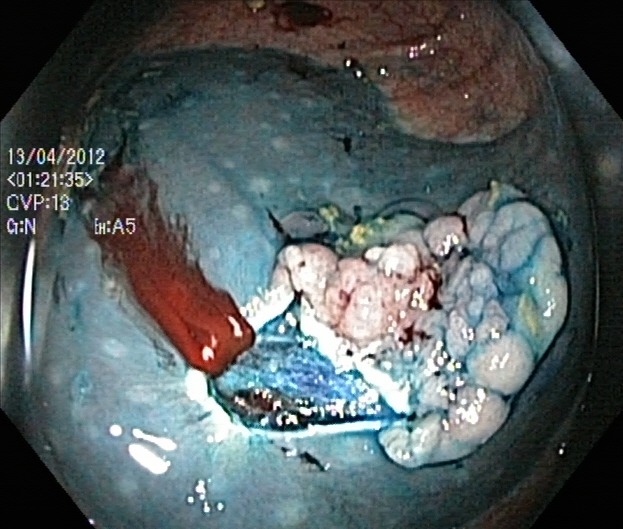This endoscopic image of the lower GI tract shows dyed resection margins (post-polypectomy).